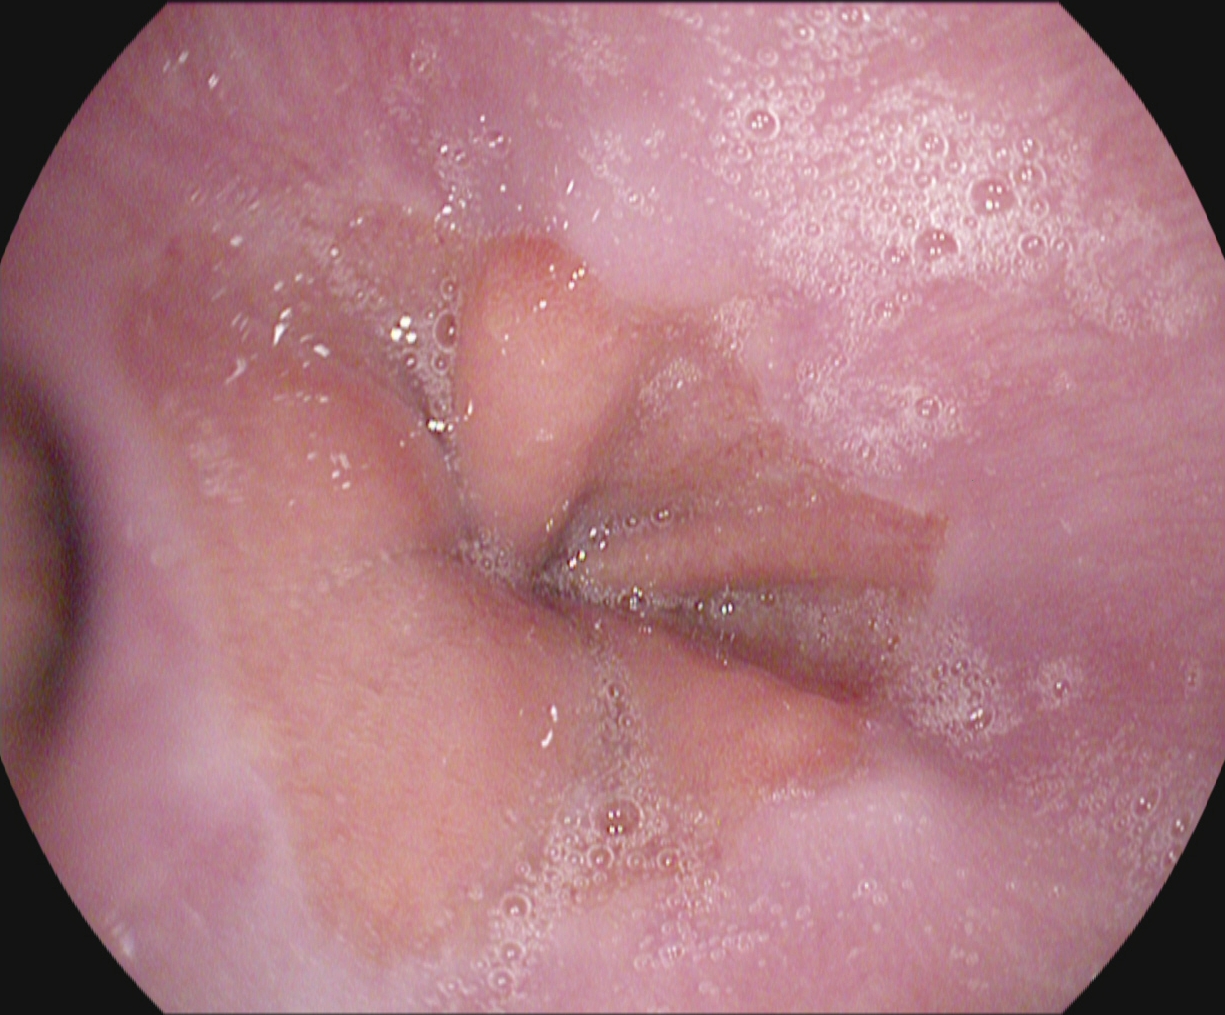Endoscopy image showing Z-line (gastroesophageal junction).